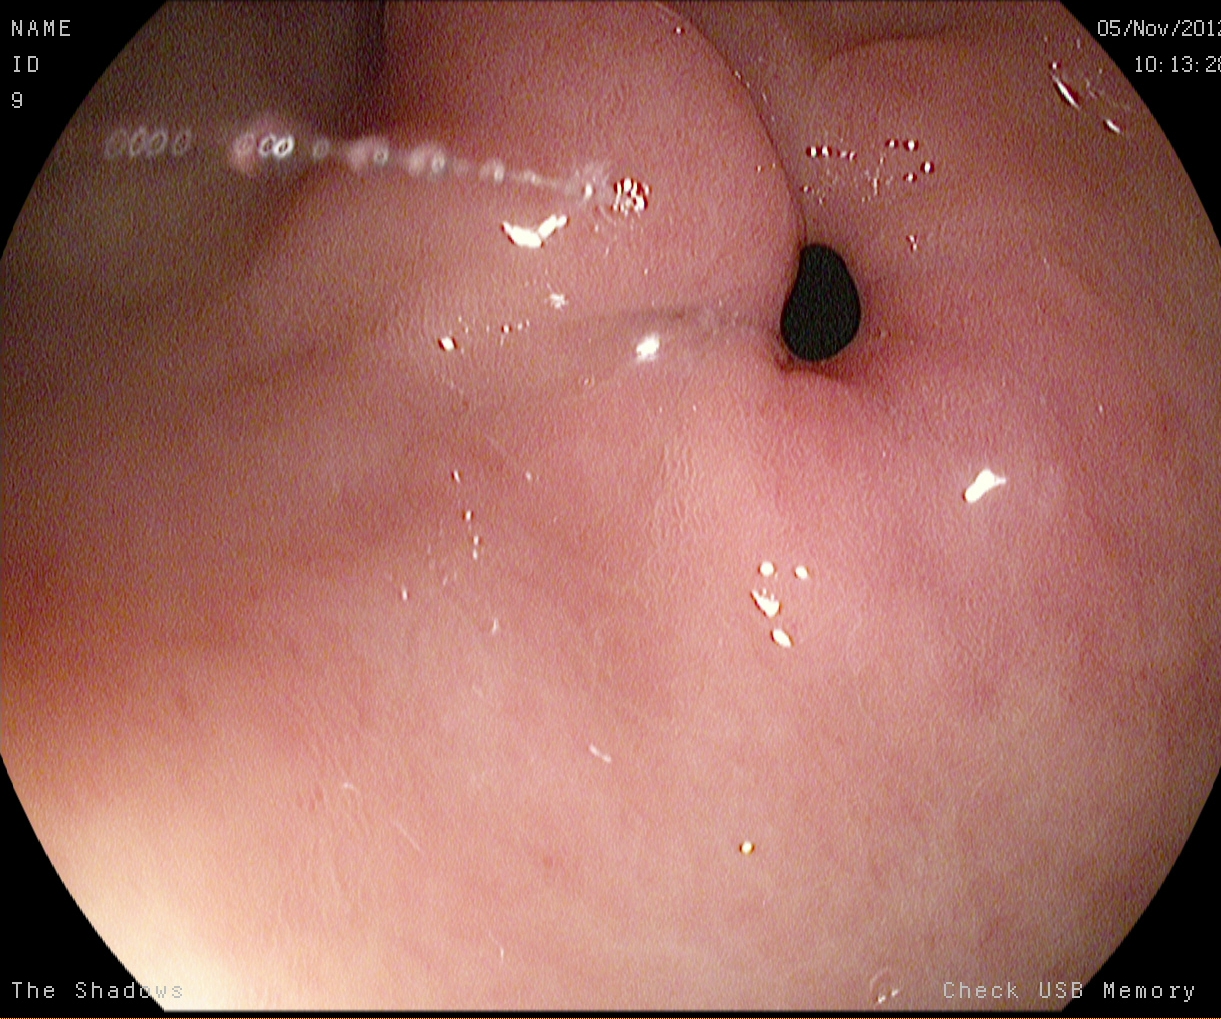Endoscopic image of the upper GI tract showing pylorus.